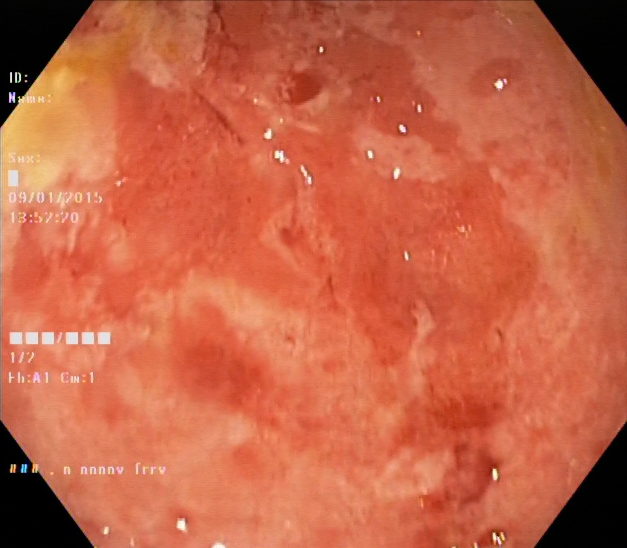Lower-GI endoscopy image of the lower GI tract showing UC, Mayo endoscopic subscore 2.